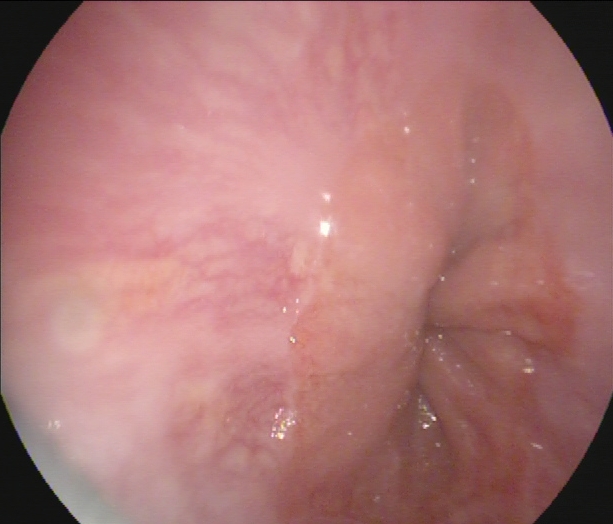This endoscopy frame shows Z-line (gastroesophageal junction).